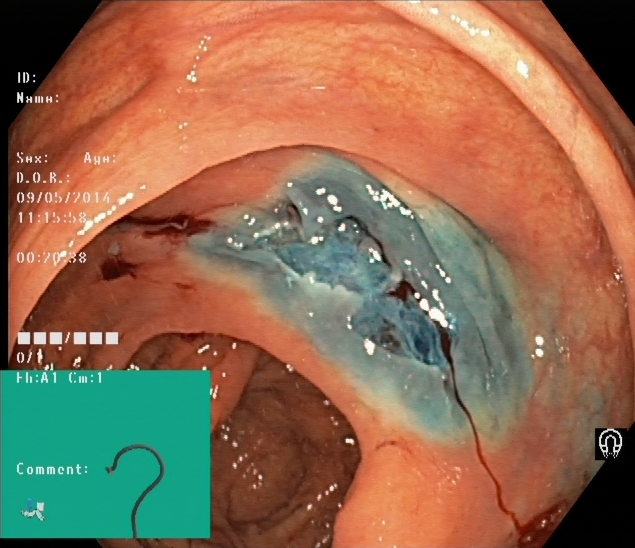modality: lower gastrointestinal endoscopy; category: therapeutic intervention; finding: dyed resection margins (post-polypectomy)